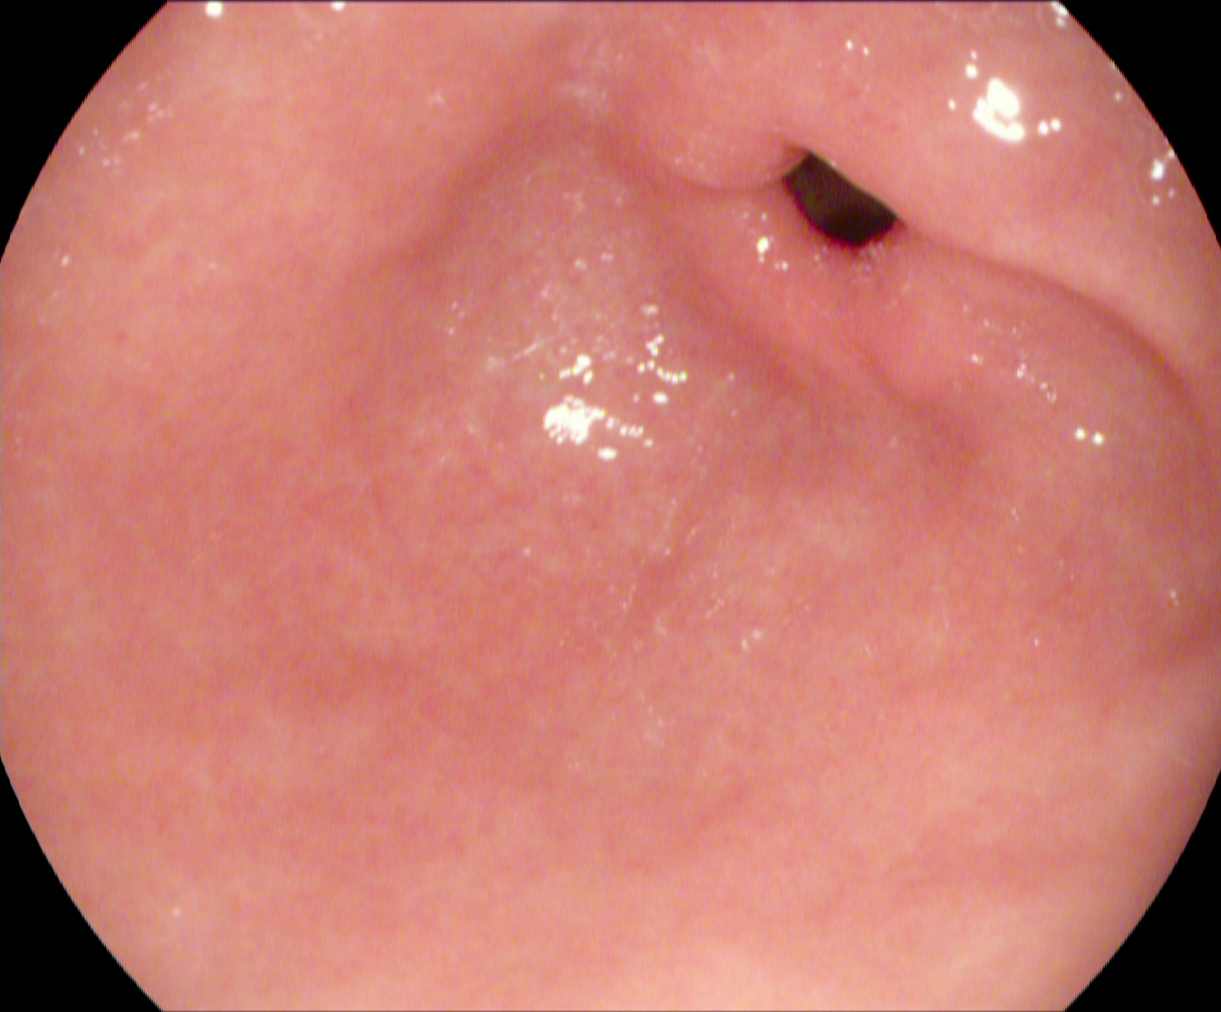{"modality": "esophagogastroduodenoscopy", "tract": "upper GI tract", "finding": "pylorus"}